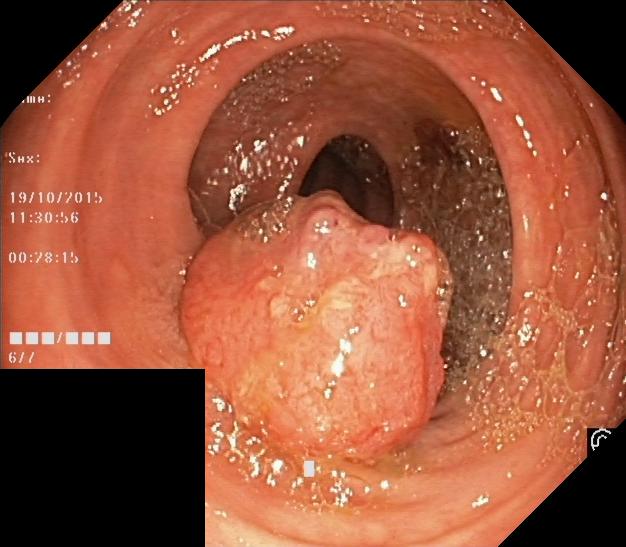modality: lower-GI endoscopy; tract: lower GI tract; finding: colorectal polyp(s)